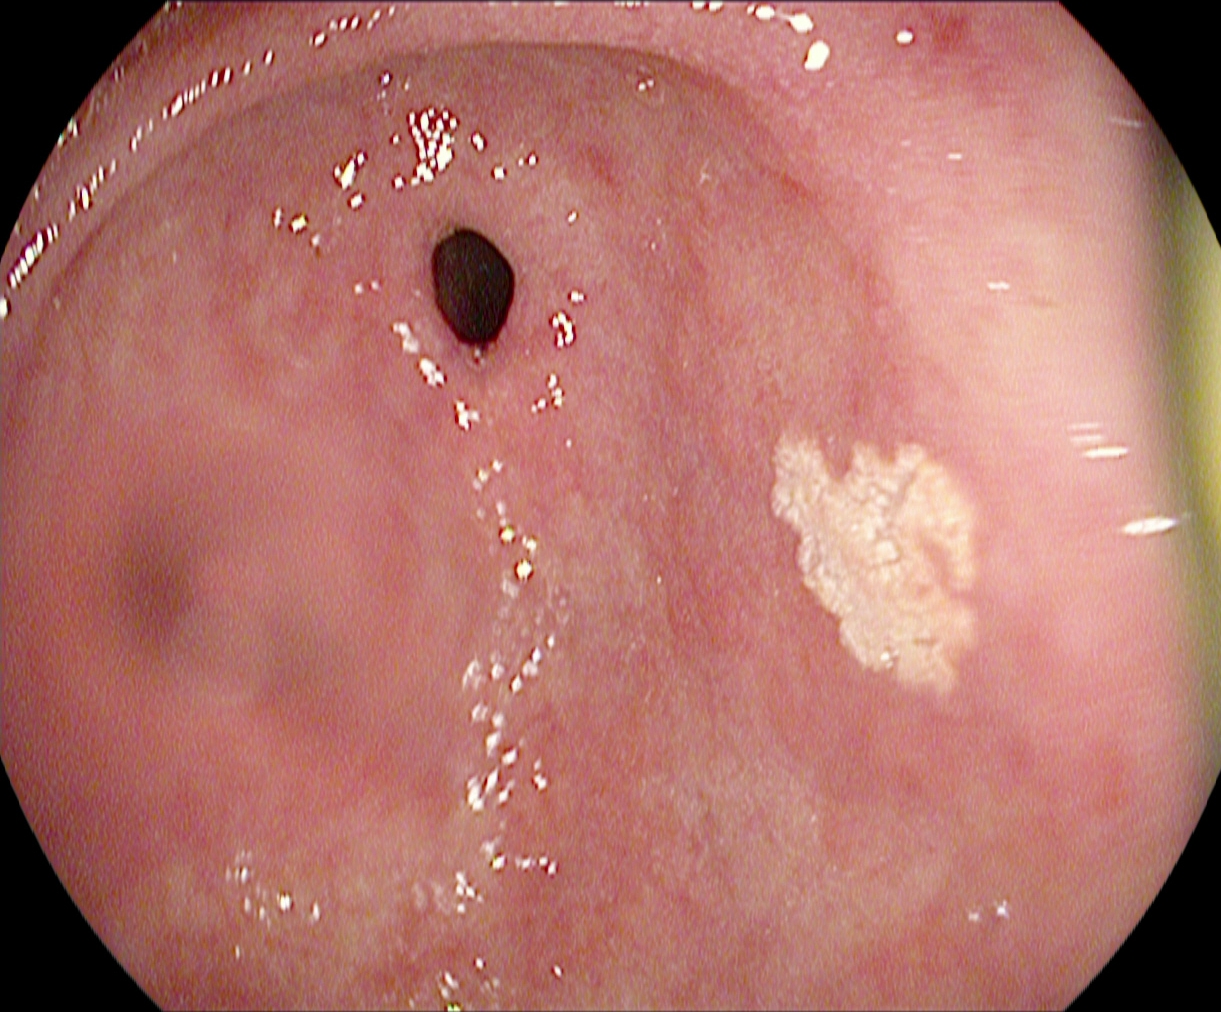PROCEDURE: EGD.
FINDINGS: Pylorus.